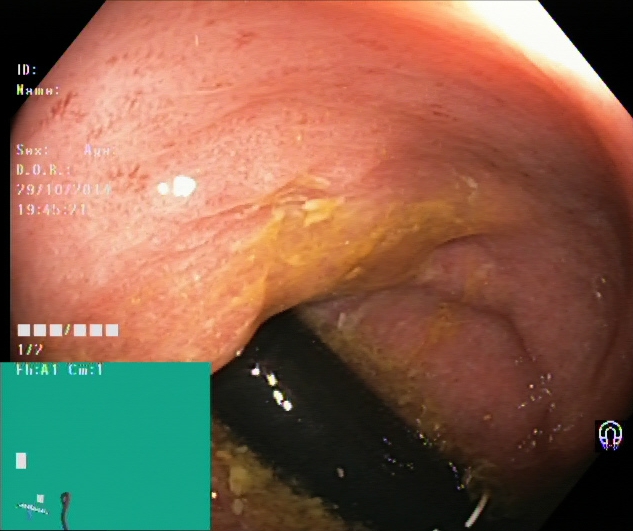This endoscopic image of the lower GI tract shows rectum in retroflexion.